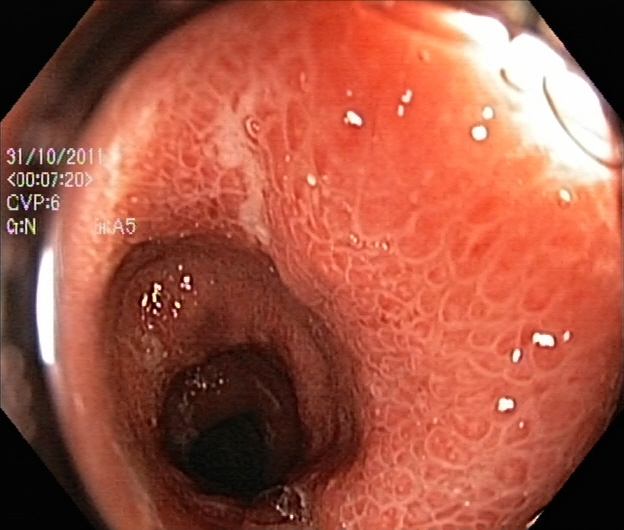Ulcerative colitis, Mayo endoscopic subscore 3.